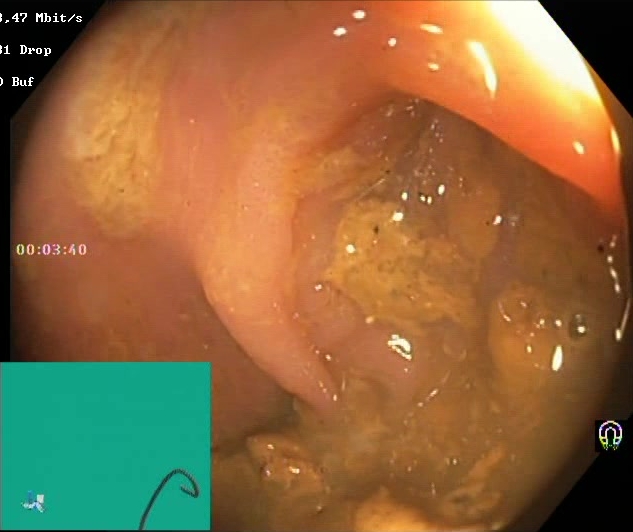BBPS score 0–1 (inadequate preparation).